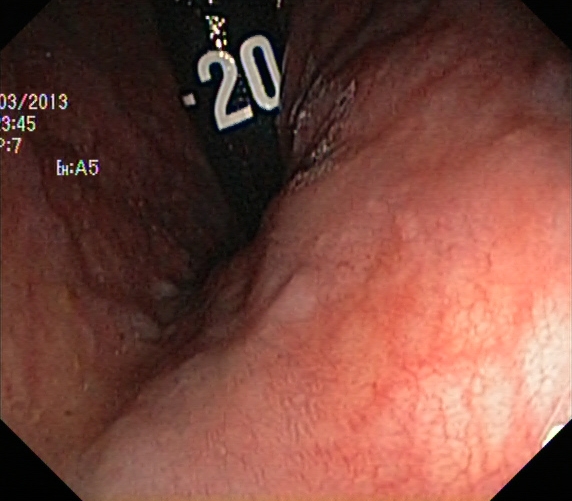Lower gastrointestinal endoscopy. Finding: rectum in retroflexion.